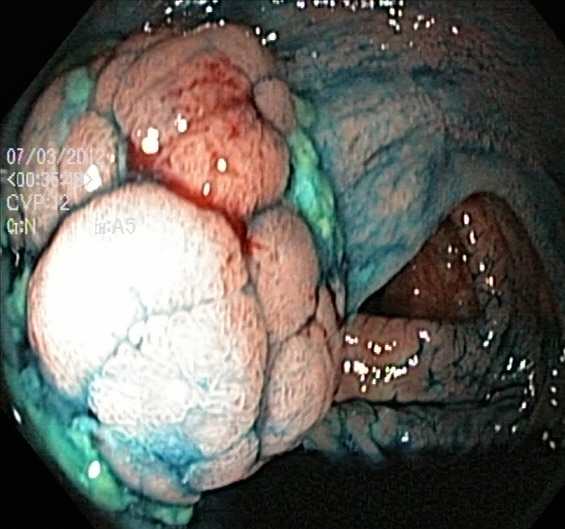Colonoscopy. Tract: lower GI tract. Therapeutic intervention. Finding: dyed and lifted polyp (pre-resection).